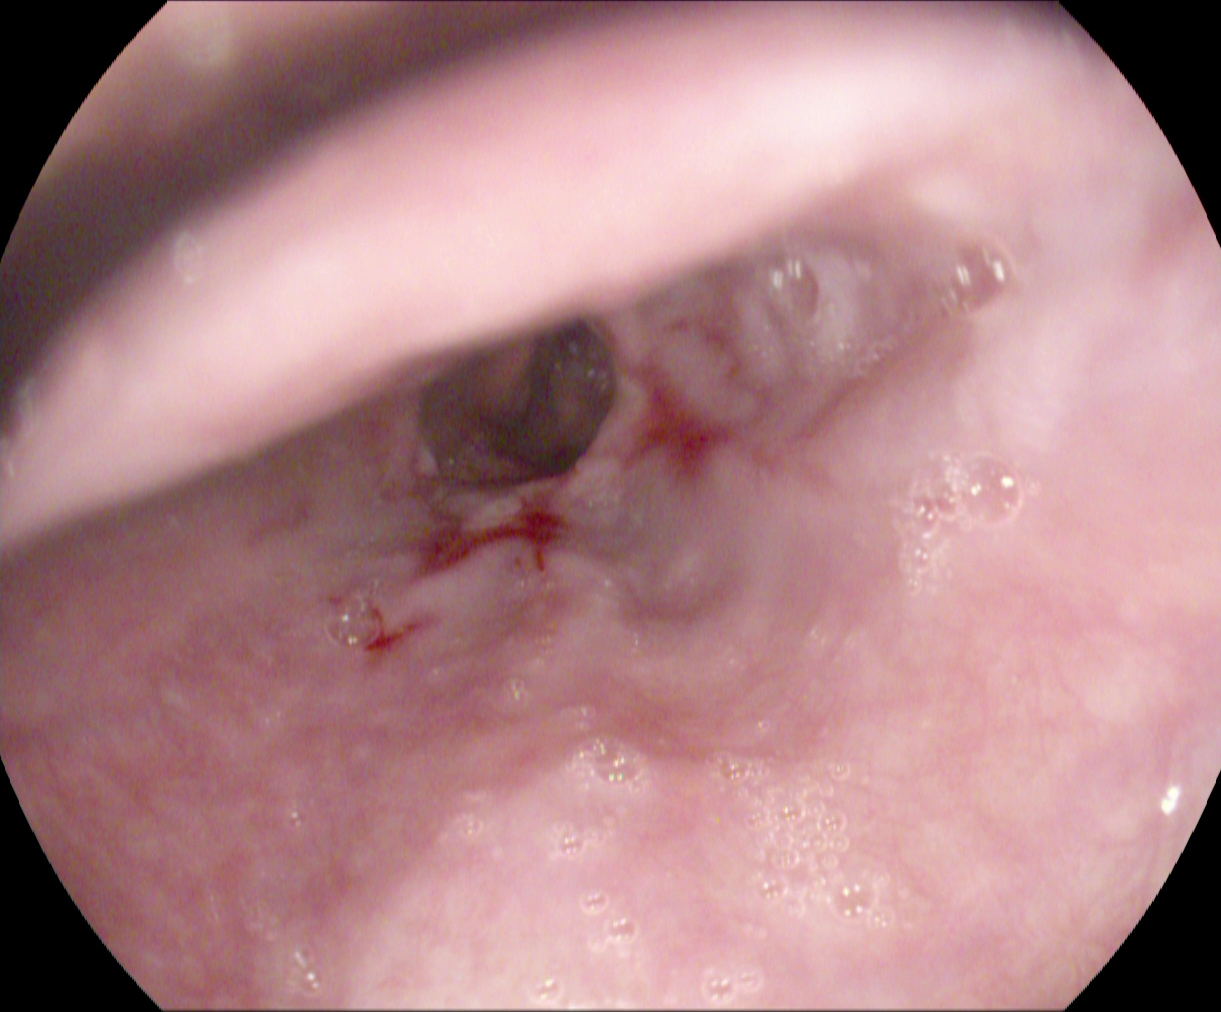modality: EGD
tract: upper GI tract
category: pathological finding
finding: reflux esophagitis, Los Angeles grade A